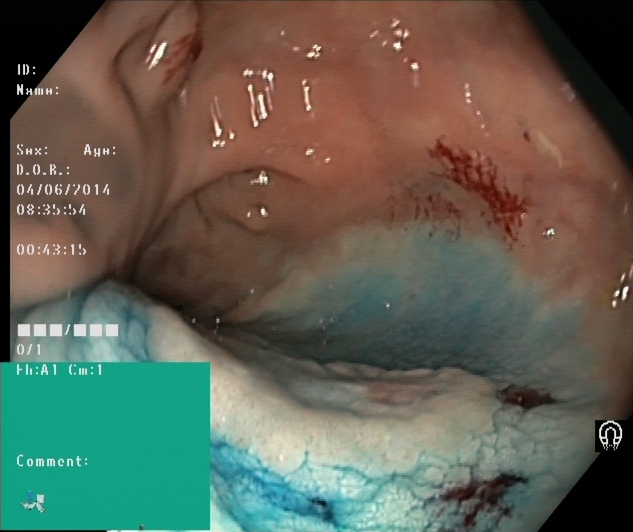Endoscopic frame of the lower GI tract showing dyed and lifted polyp (pre-resection).